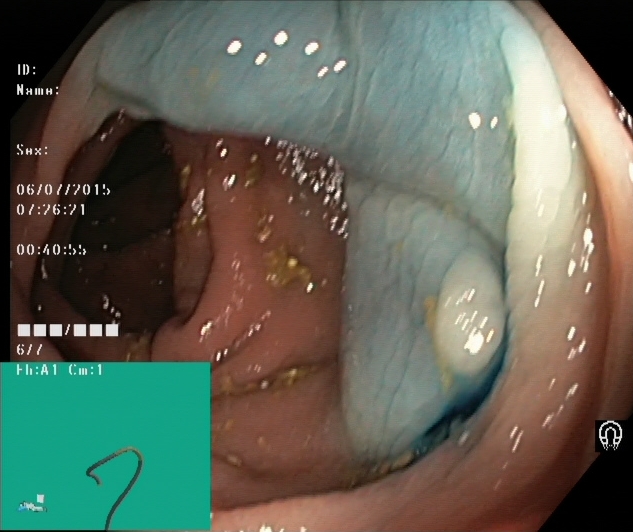PROCEDURE: Lower-GI endoscopy.
FINDINGS: Dyed and lifted polyp (pre-resection).